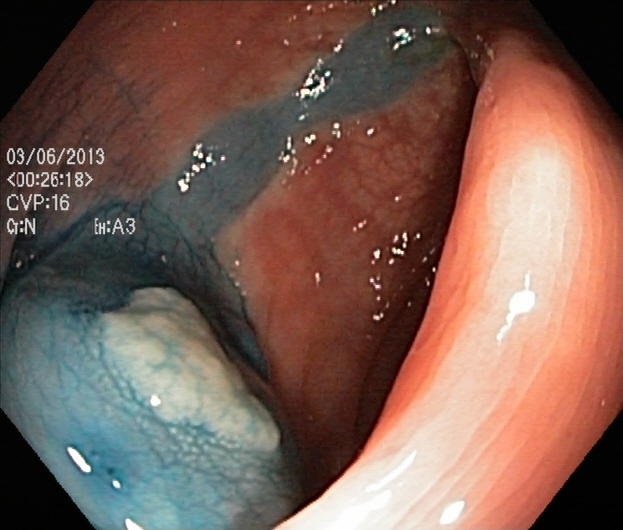Lower gastrointestinal endoscopy. Tract: lower GI tract. Finding: dyed and lifted polyp (pre-resection).